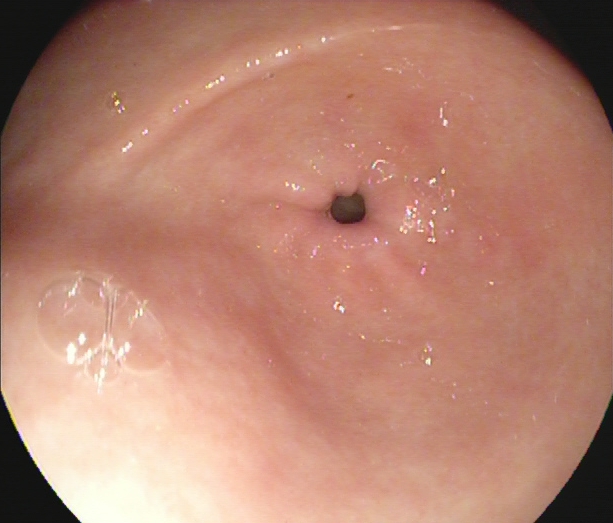modality: upper-GI endoscopy | finding: pylorus